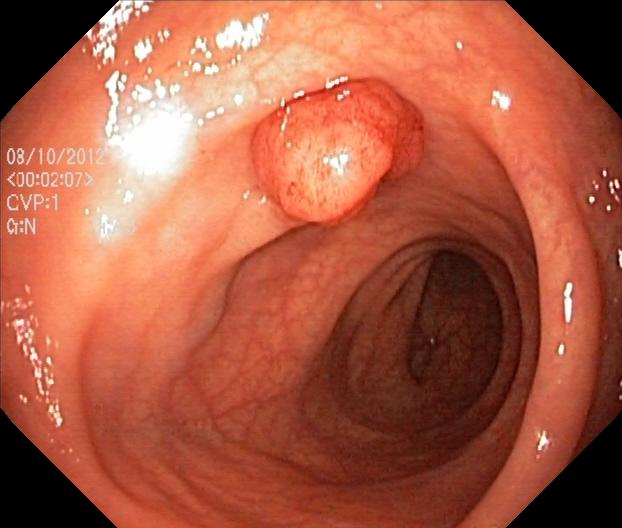PROCEDURE: Colonoscopy.
FINDINGS: Colorectal polyp(s).